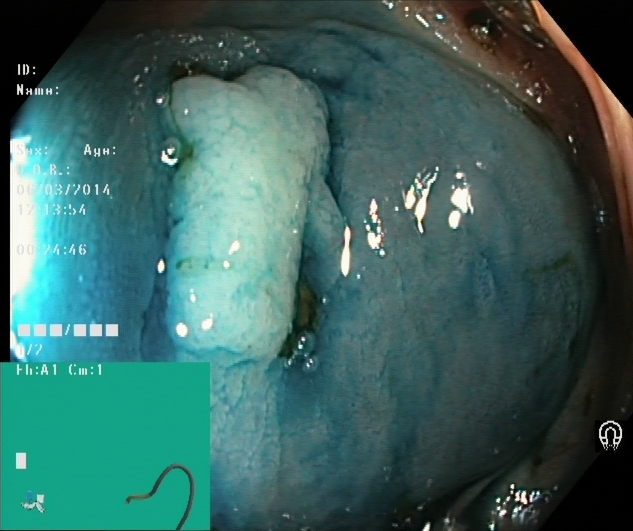Colonoscopy — dyed and lifted polyp (pre-resection).